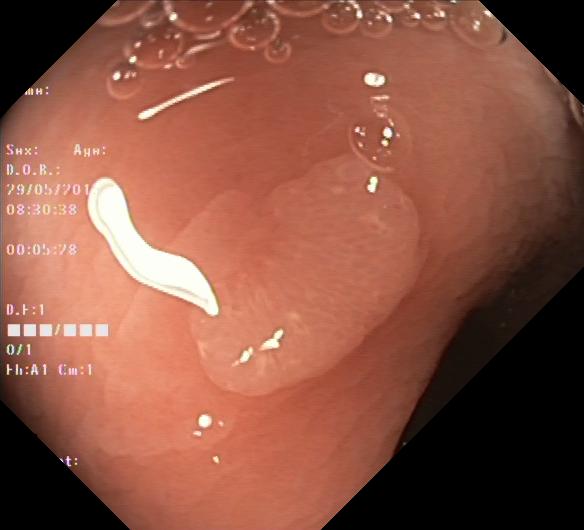PROCEDURE: Lower gastrointestinal endoscopy.
FINDINGS: Colorectal polyp(s).